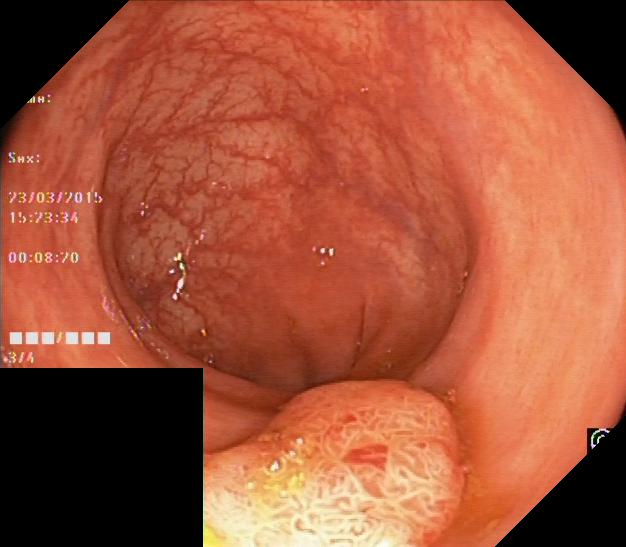{"modality": "lower-GI endoscopy", "tract": "lower GI tract", "category": "pathological finding", "finding": "colorectal polyp(s)"}